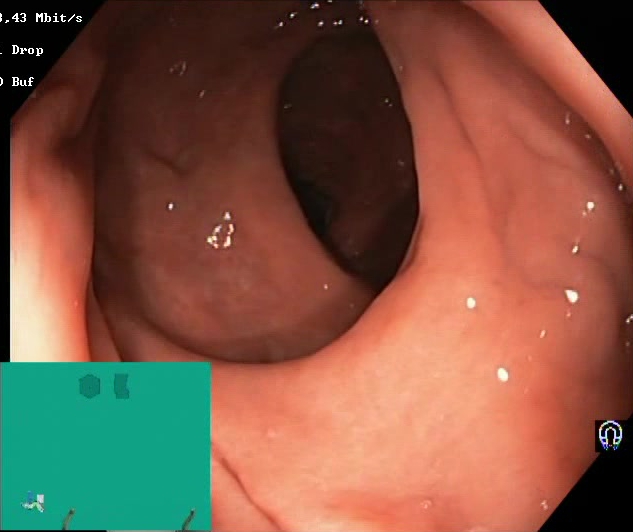{"modality": "lower gastrointestinal endoscopy", "category": "mucosal-view quality", "finding": "Boston Bowel Preparation Scale score 2\u20133 (adequate preparation)"}